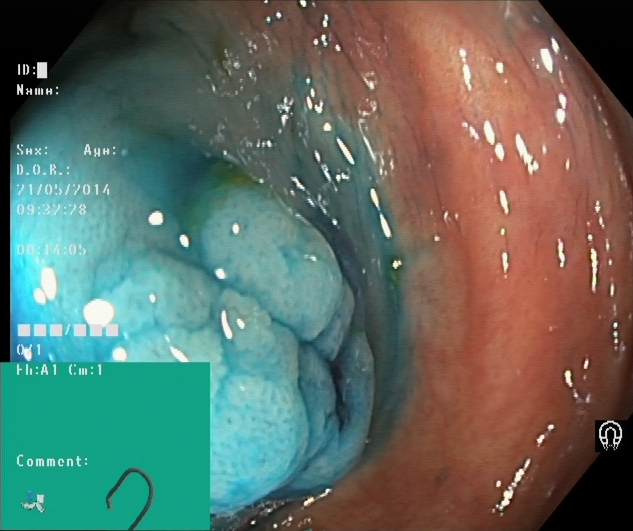Lower gastrointestinal endoscopy. Tract: lower GI tract. Therapeutic intervention. Finding: dyed and lifted polyp (pre-resection).